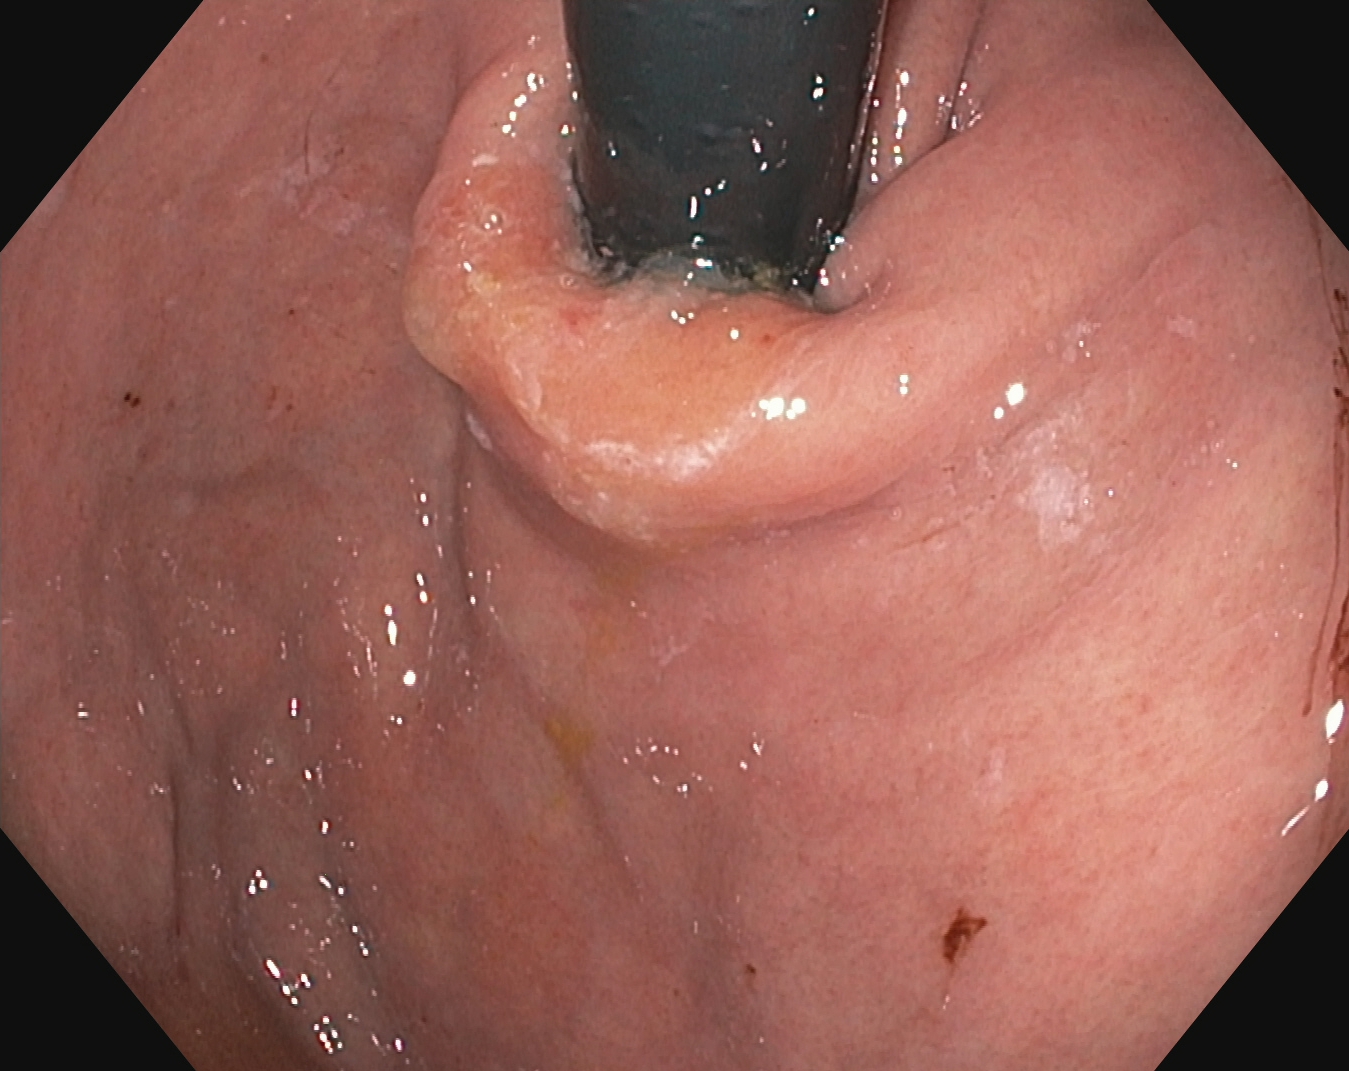{"modality": "esophagogastroduodenoscopy", "tract": "upper GI tract", "finding": "stomach in retroflexion"}